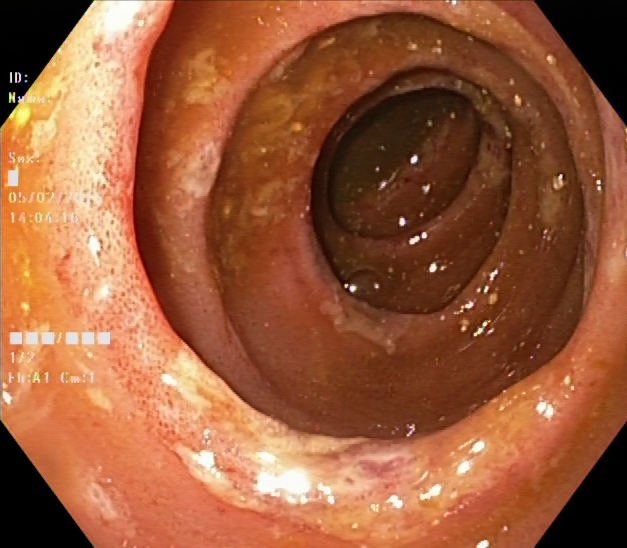{"modality": "lower gastrointestinal endoscopy", "category": "pathological finding", "finding": "ulcerative colitis, Mayo endoscopic subscore 2"}